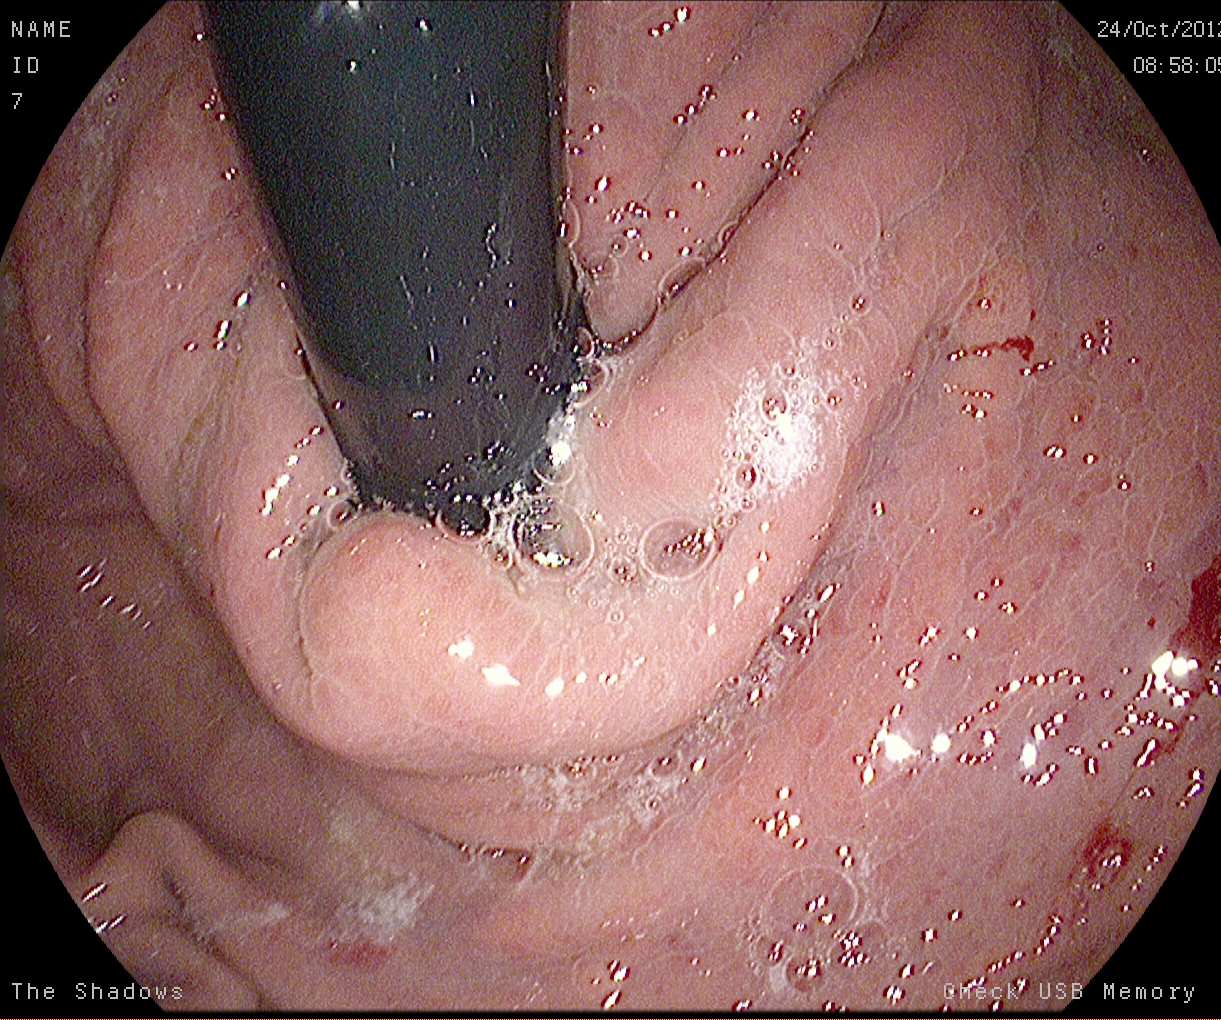modality: esophagogastroduodenoscopy
finding: stomach in retroflexion